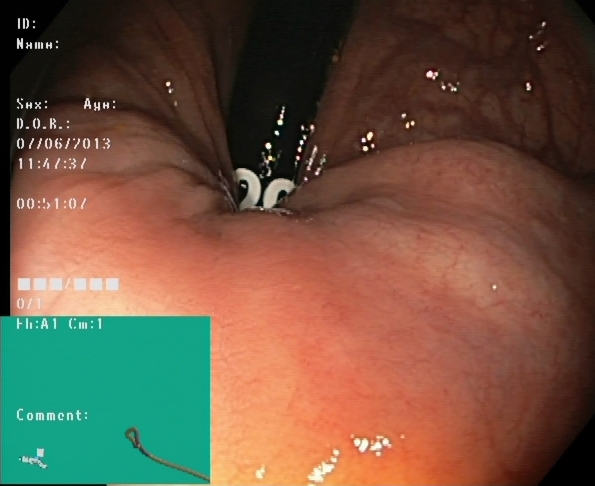Colonoscopy image showing rectum in retroflexion.